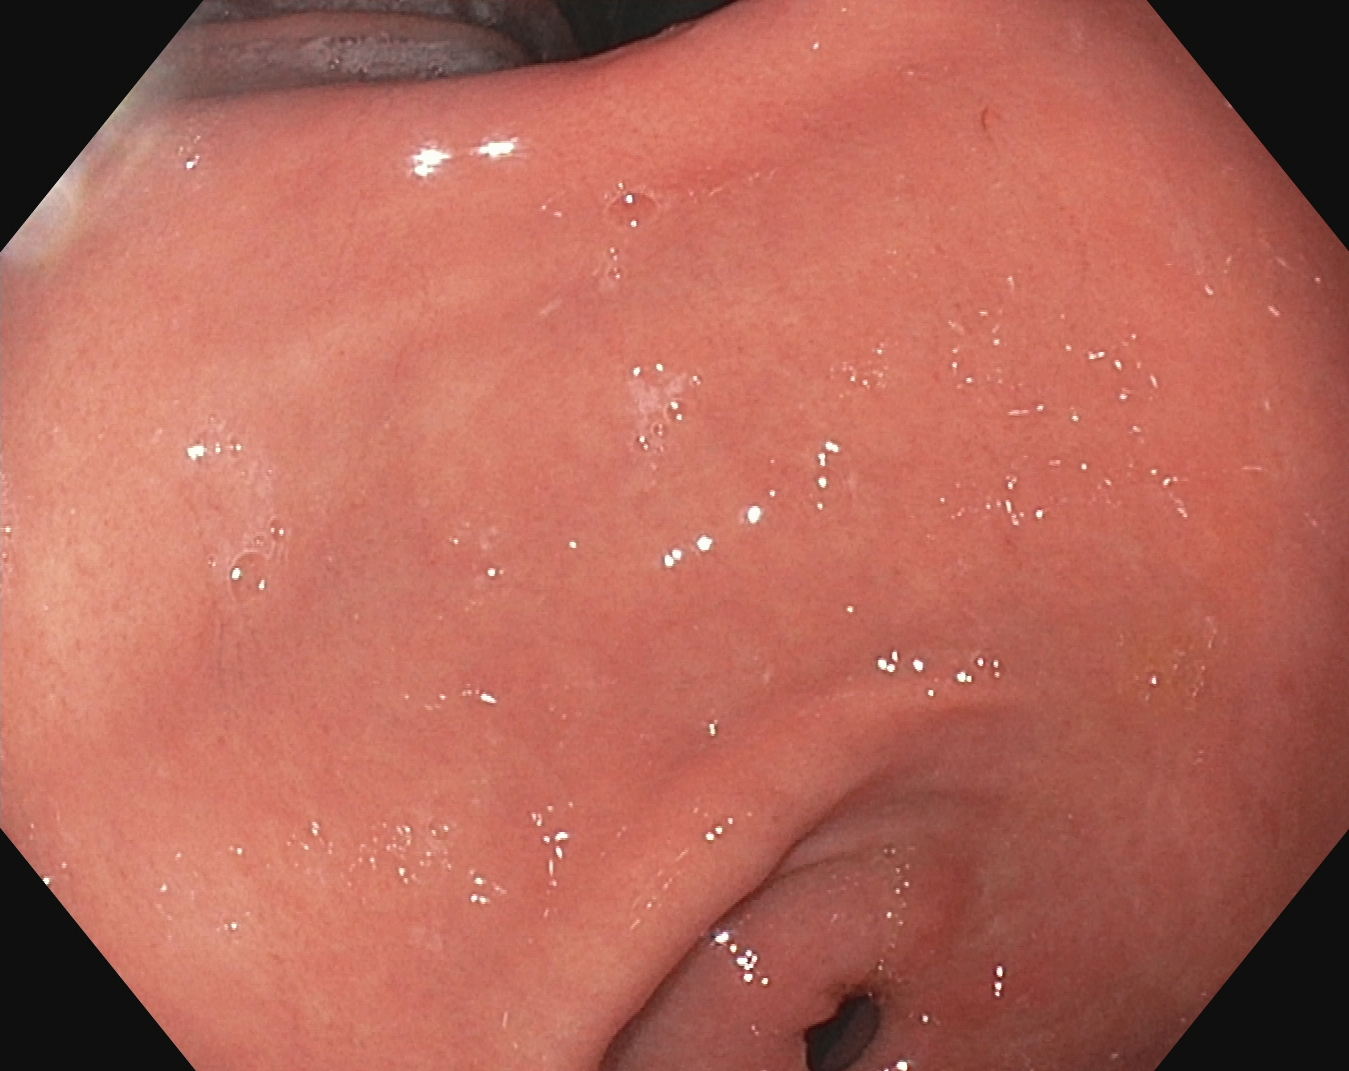PROCEDURE: EGD.
FINDINGS: Pylorus.